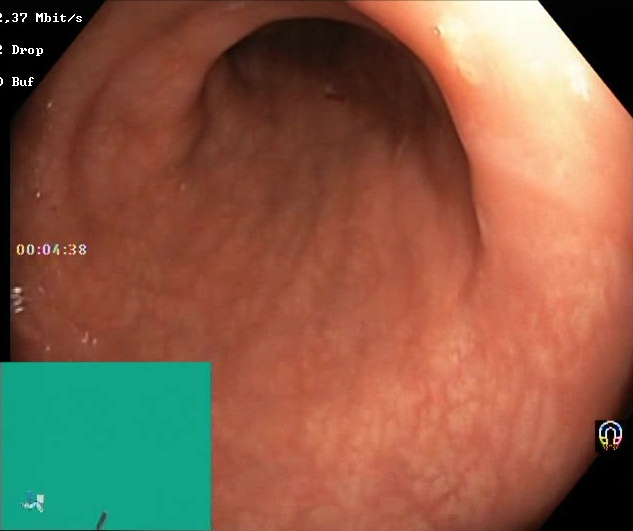PROCEDURE: Colonoscopy.
CATEGORY: Mucosal-view quality.
FINDINGS: Boston Bowel Preparation Scale score 2–3 (adequate preparation).